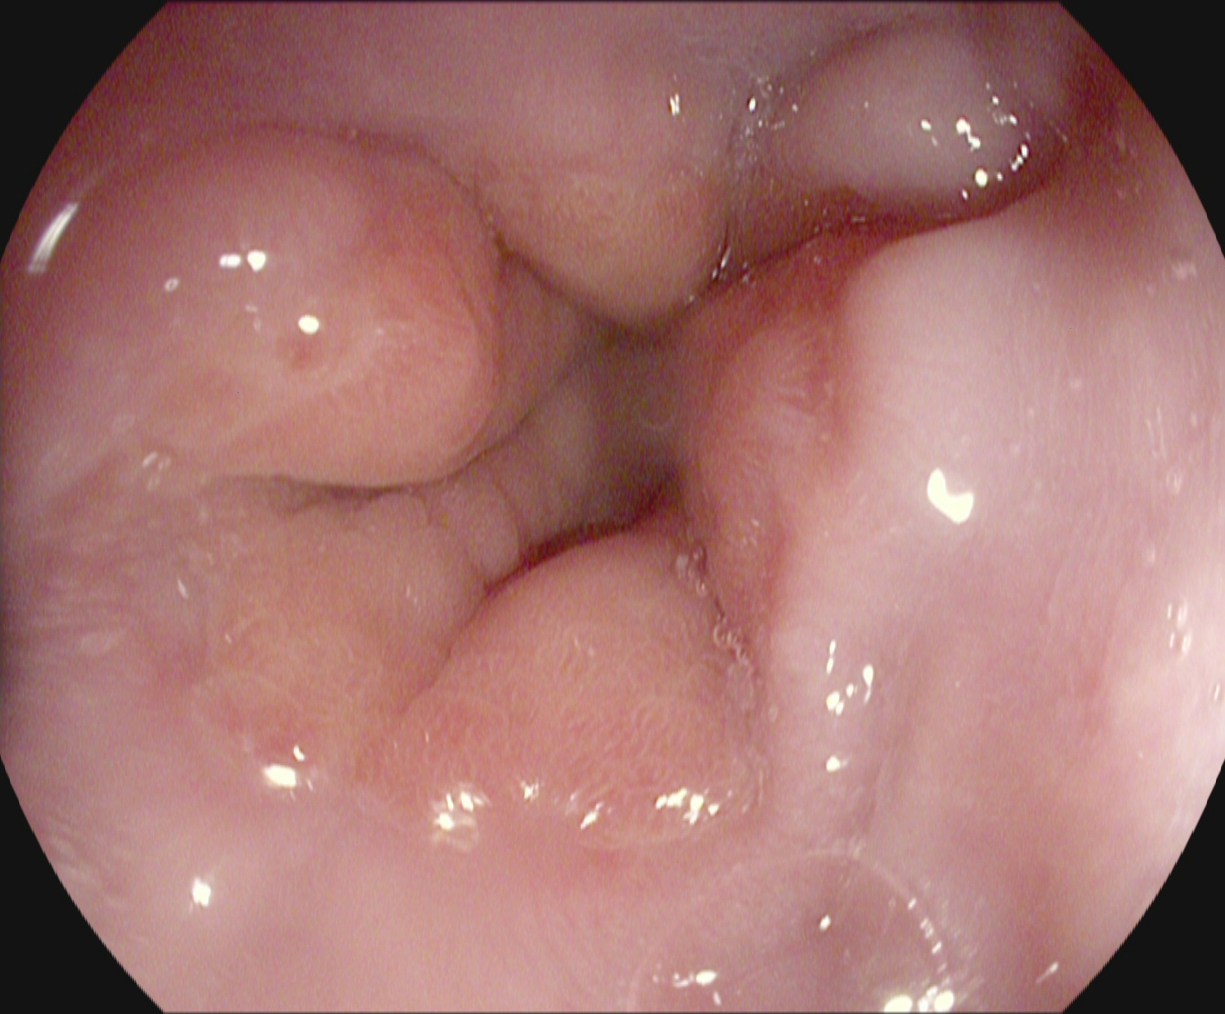PROCEDURE: Upper-GI endoscopy.
FINDINGS: Z-line (gastroesophageal junction).